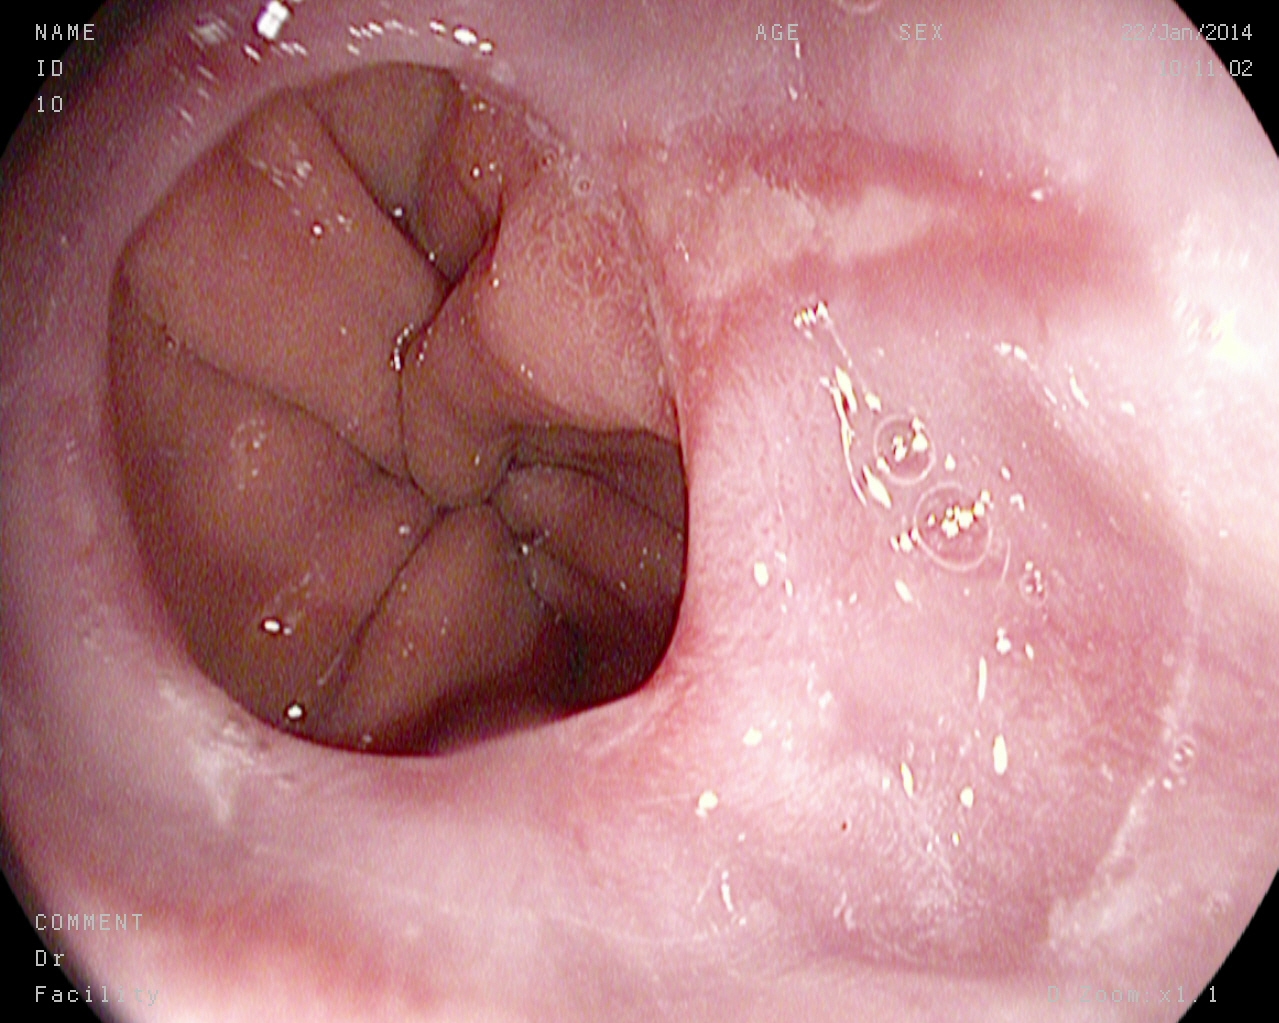Upper-GI endoscopy image of the upper GI tract showing reflux esophagitis, Los Angeles grade A.